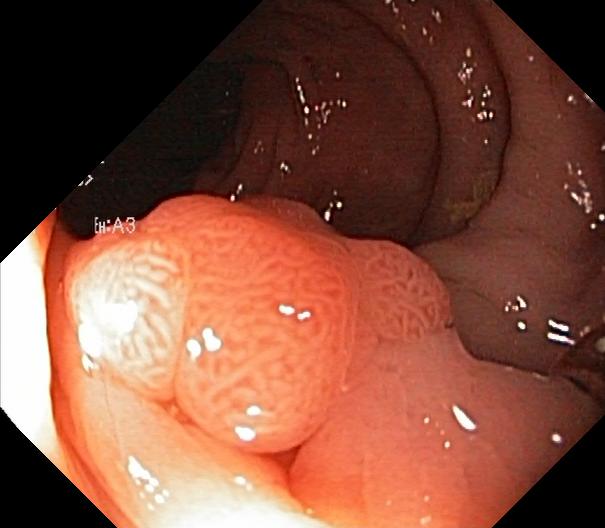modality: colonoscopy | tract: lower GI tract | finding: colorectal polyp(s)